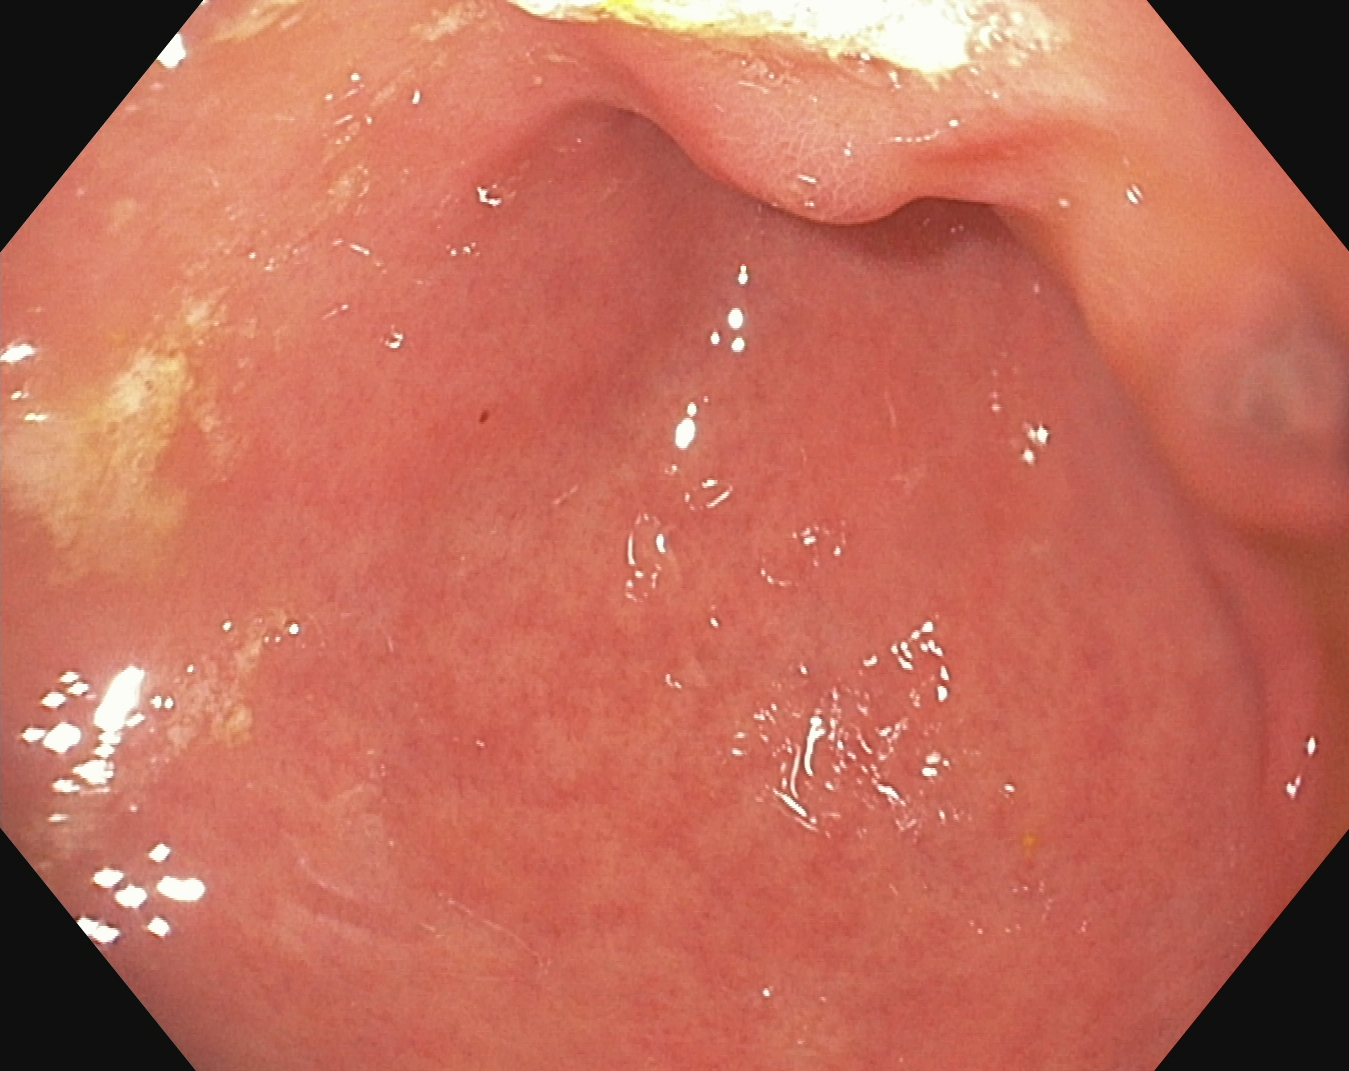Endoscopic image of the upper GI tract showing pylorus.